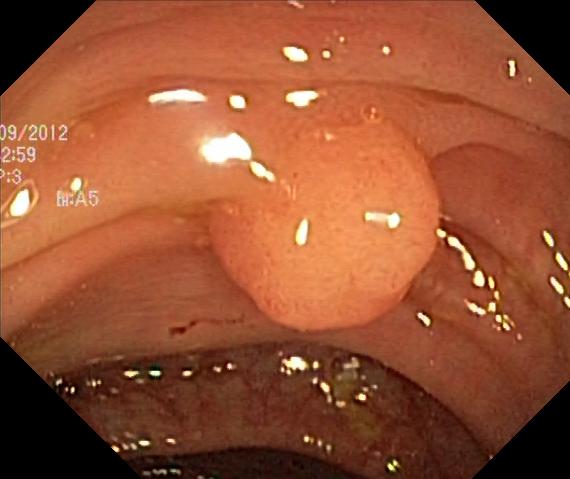Lower-GI endoscopy. Pathological finding. Finding: colorectal polyp(s).